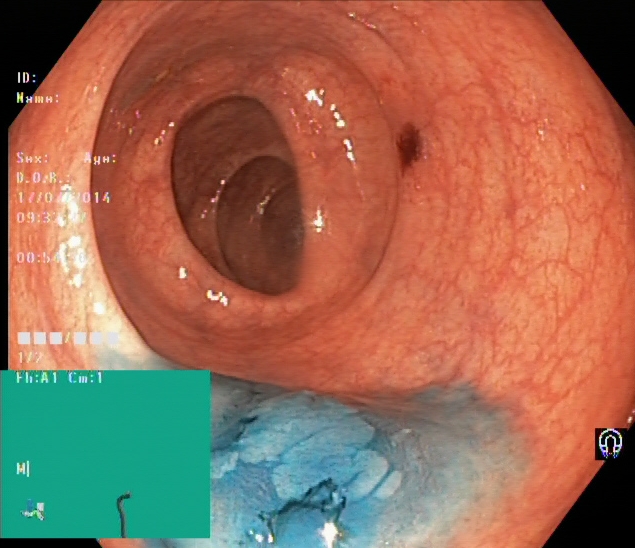modality: colonoscopy
tract: lower GI tract
finding: dyed and lifted polyp (pre-resection)